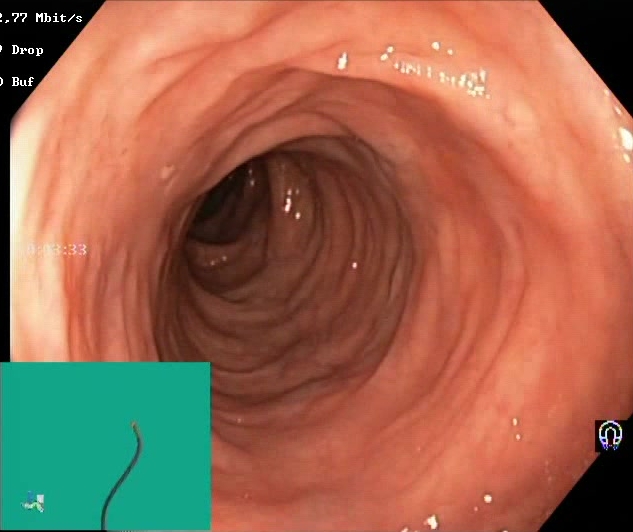Boston Bowel Preparation Scale score 2–3 (adequate preparation).